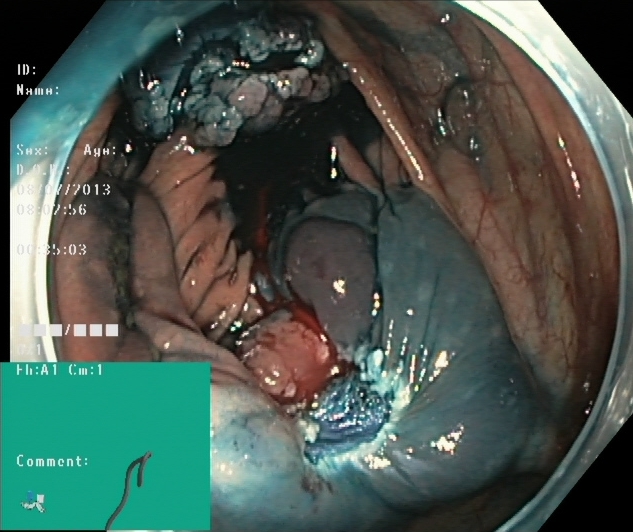Lower gastrointestinal endoscopy. Tract: lower GI tract. Finding: dyed and lifted polyp (pre-resection).